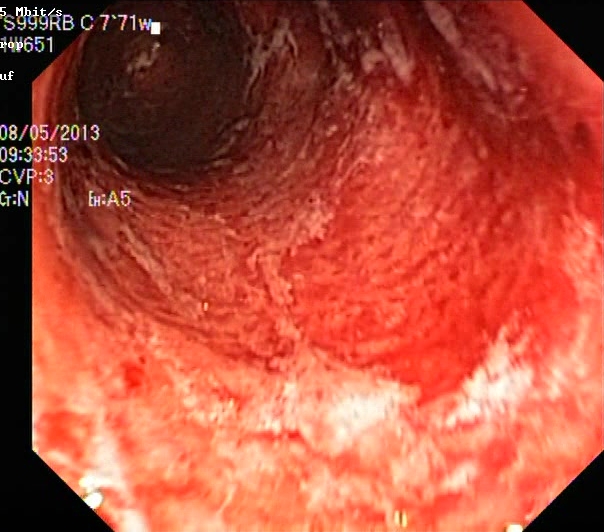{"modality": "lower-GI endoscopy", "tract": "lower GI tract", "category": "pathological finding", "finding": "UC, Mayo endoscopic subscore 3"}